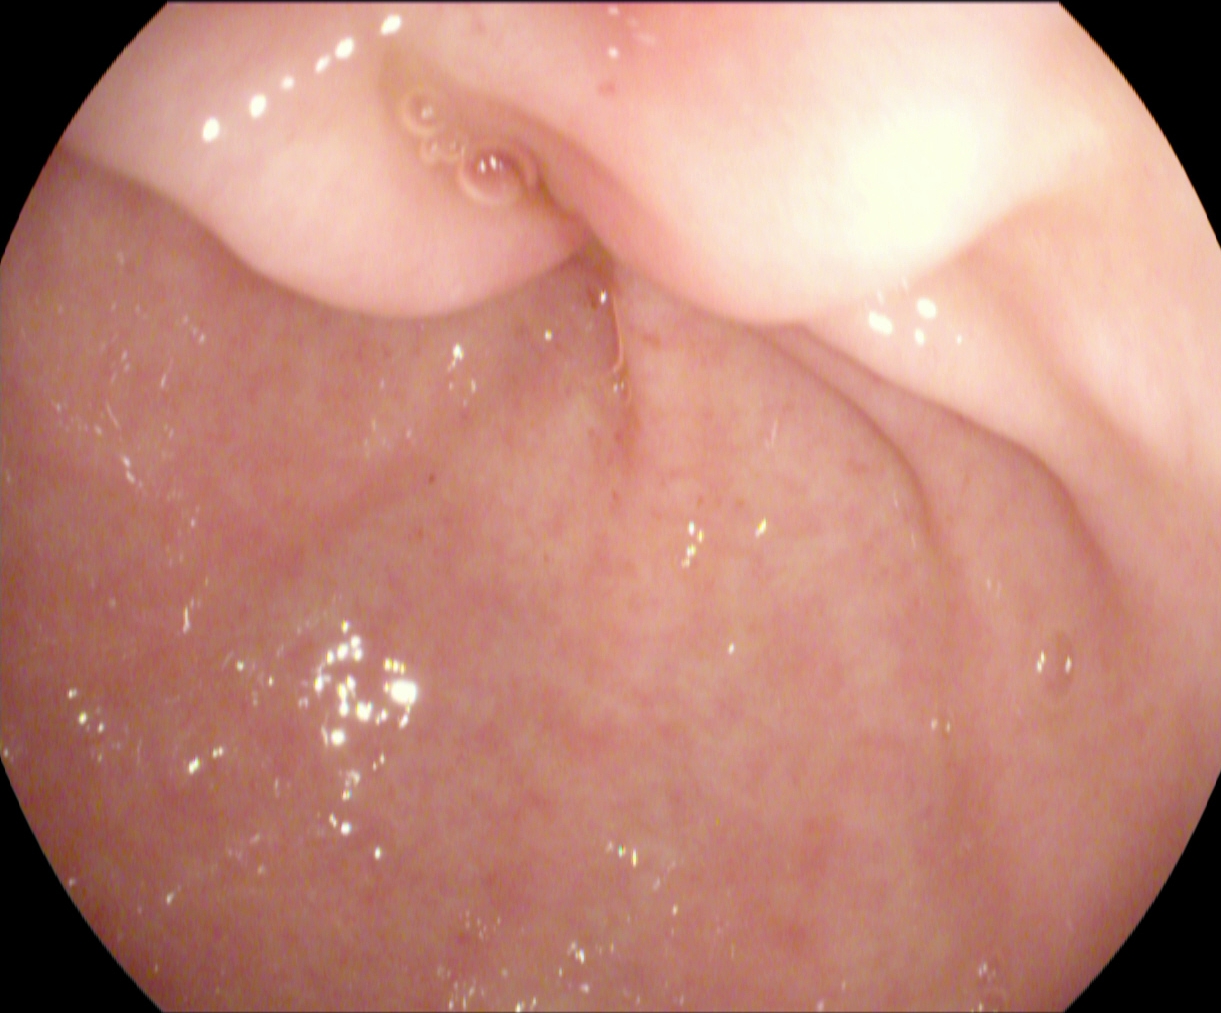modality: gastroscopy
finding: pylorus